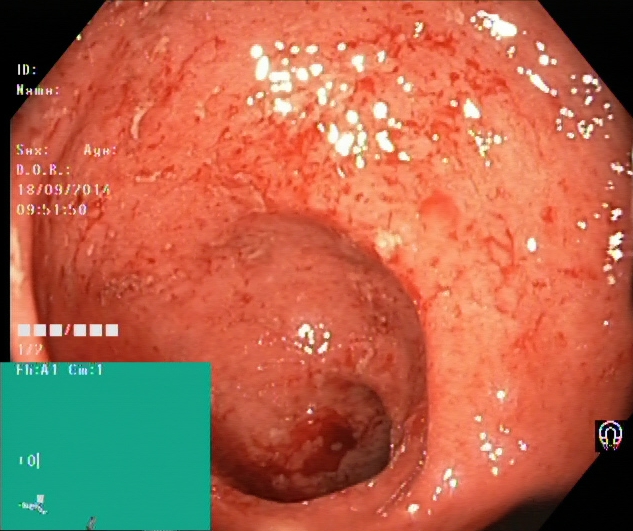{"modality": "colonoscopy", "tract": "lower GI tract", "category": "pathological finding", "finding": "UC, Mayo endoscopic subscore 2"}